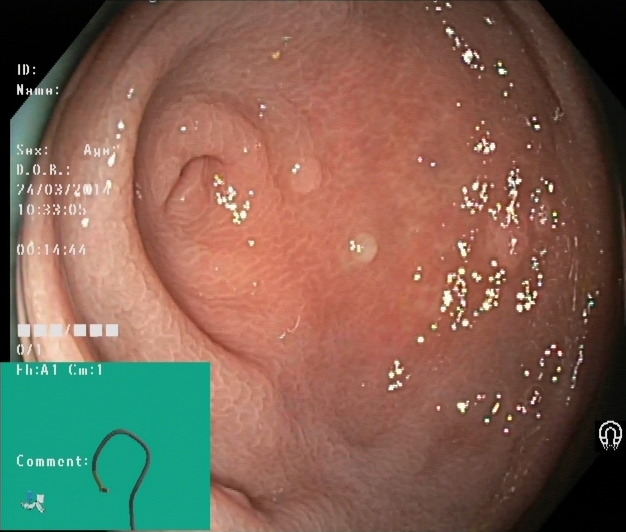Cecum.